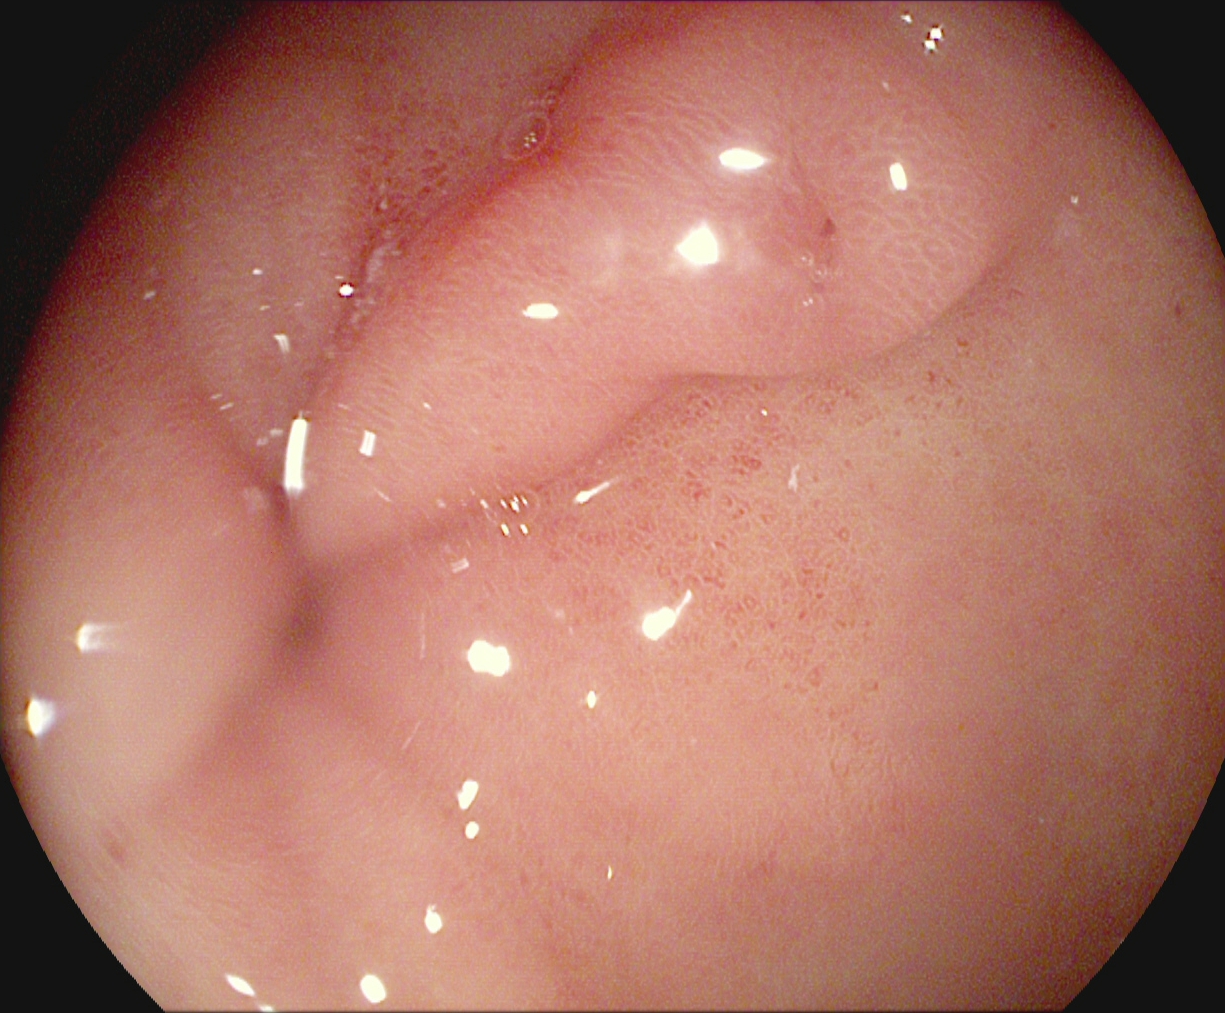{"modality": "upper-GI endoscopy", "finding": "pylorus"}